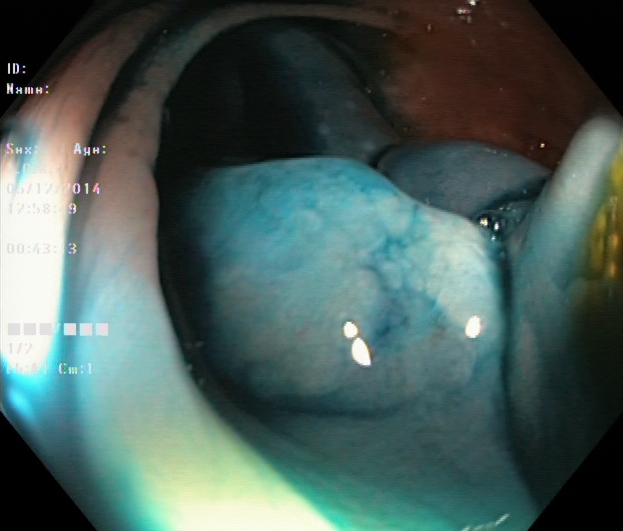Lower gastrointestinal endoscopy. Finding: dyed and lifted polyp (pre-resection).